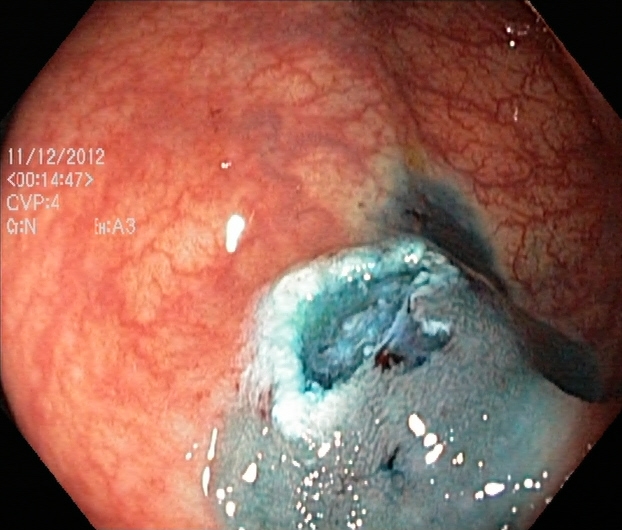modality: colonoscopy
tract: lower GI tract
finding: dyed resection margins (post-polypectomy)